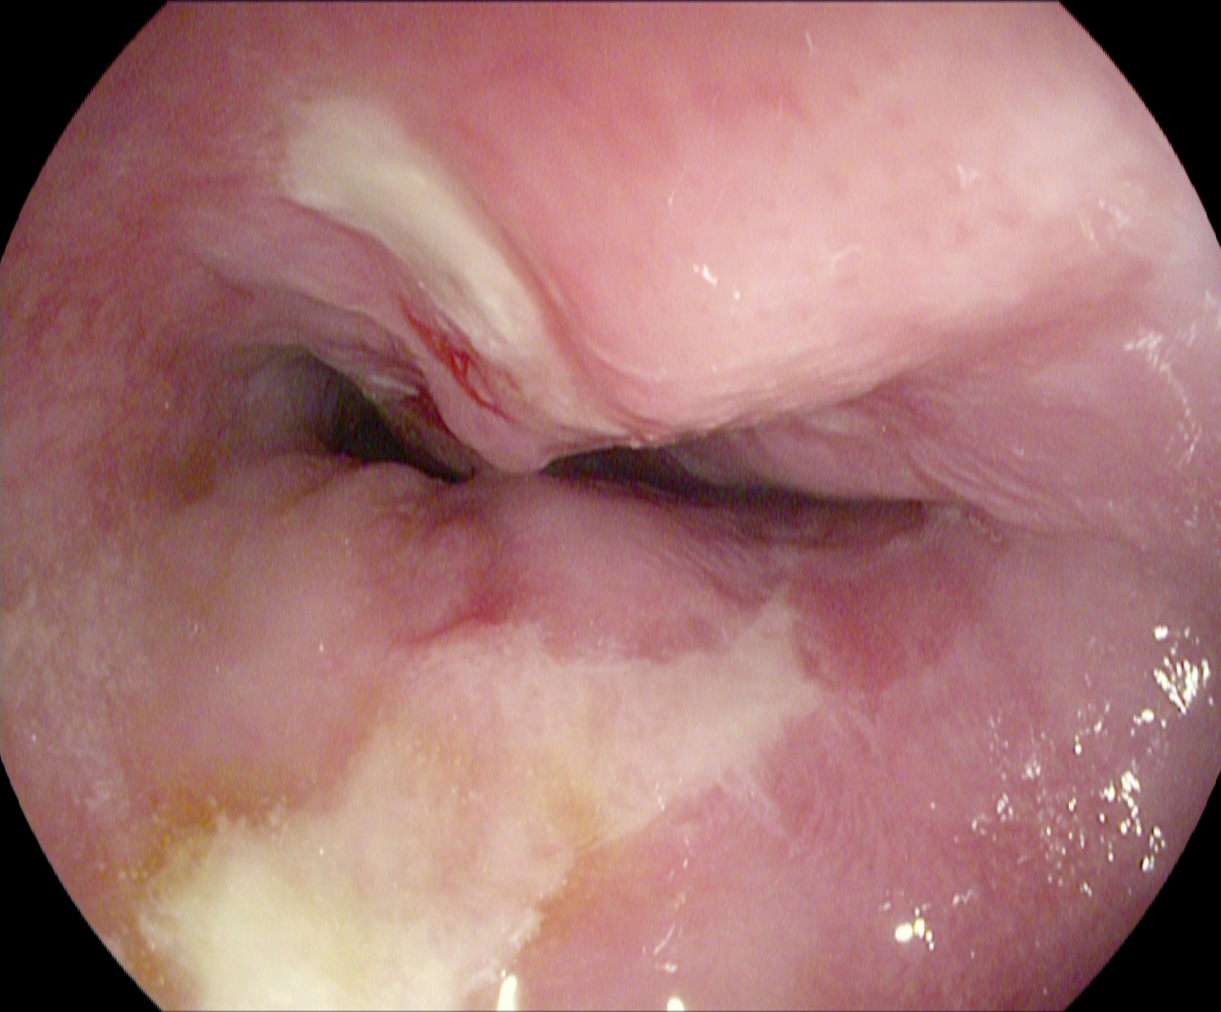{"modality": "EGD", "tract": "upper GI tract", "finding": "reflux esophagitis, LA grade B\u2013D"}